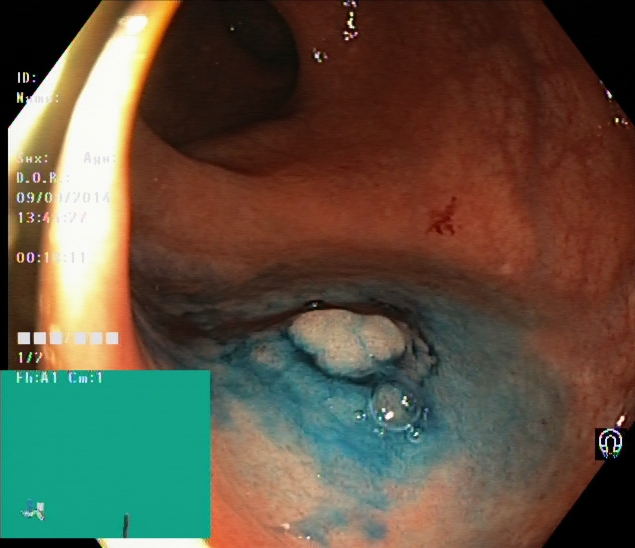Dyed and lifted polyp (pre-resection).